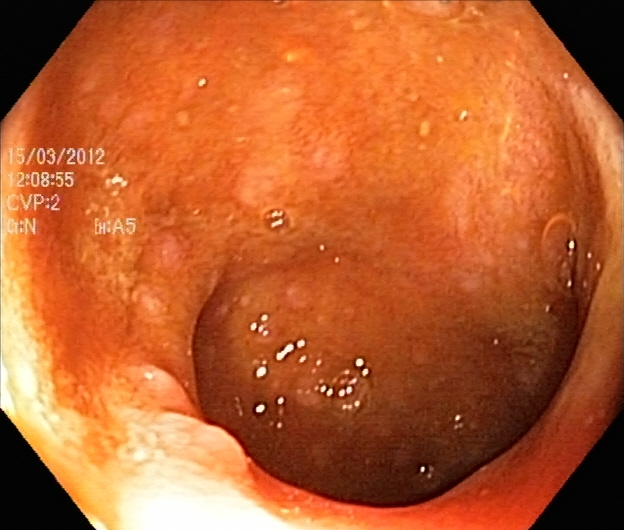This endoscopic image of the lower GI tract shows UC, Mayo endoscopic subscore 2.